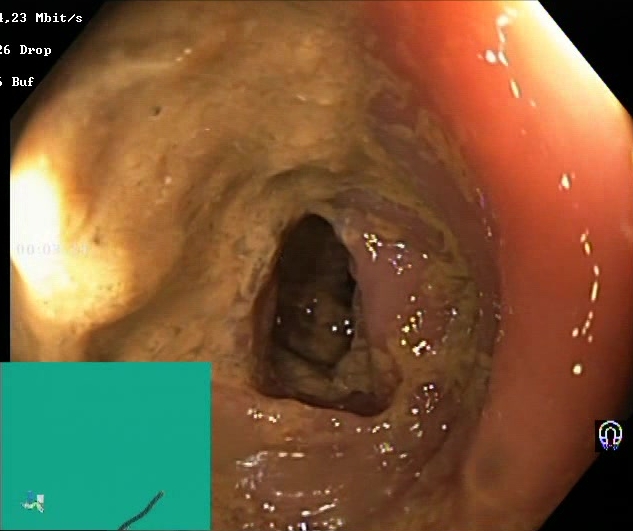PROCEDURE: Colonoscopy.
CATEGORY: Mucosal-view quality.
FINDINGS: BBPS score 0–1 (inadequate preparation).